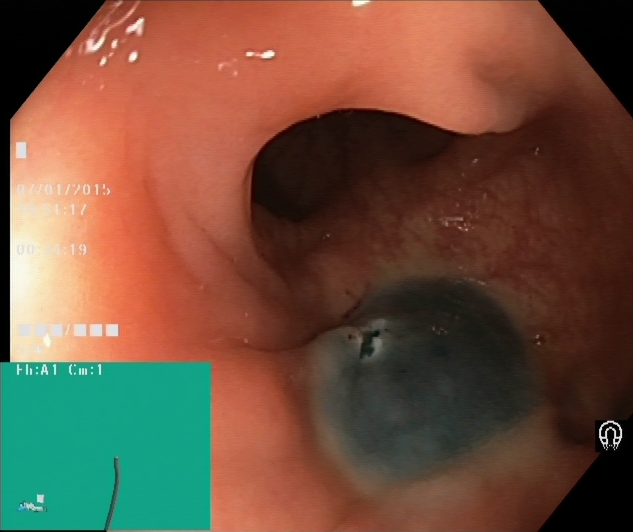Colonoscopy. Tract: lower GI tract. Finding: dyed resection margins (post-polypectomy).